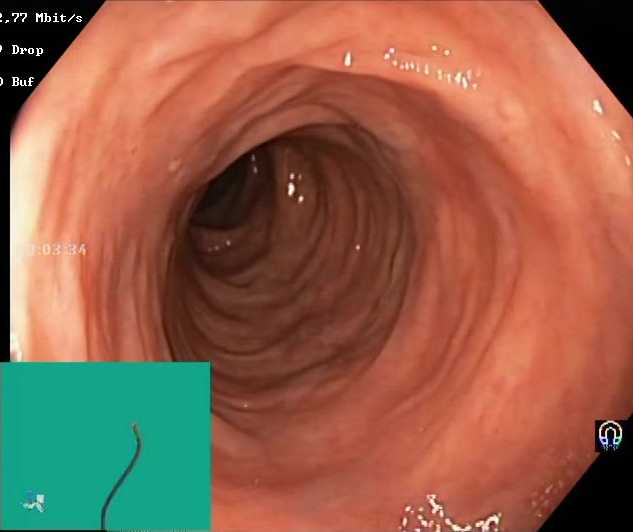Lower-GI endoscopy. Tract: lower GI tract. Finding: Boston Bowel Preparation Scale score 2–3 (adequate preparation).